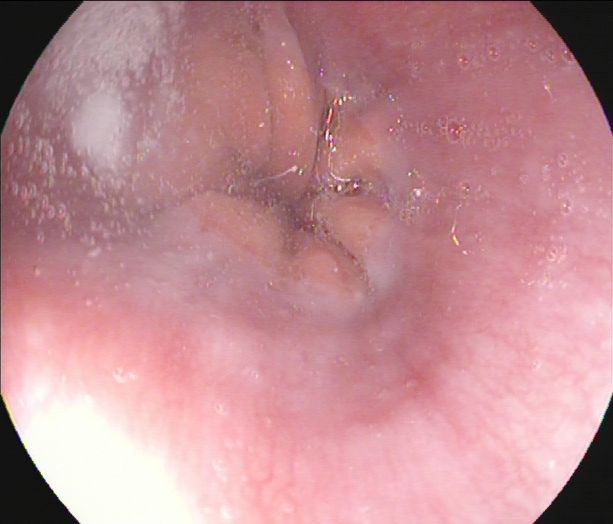Gastroscopy. Tract: upper GI tract. Anatomical landmark. Finding: Z-line (gastroesophageal junction).